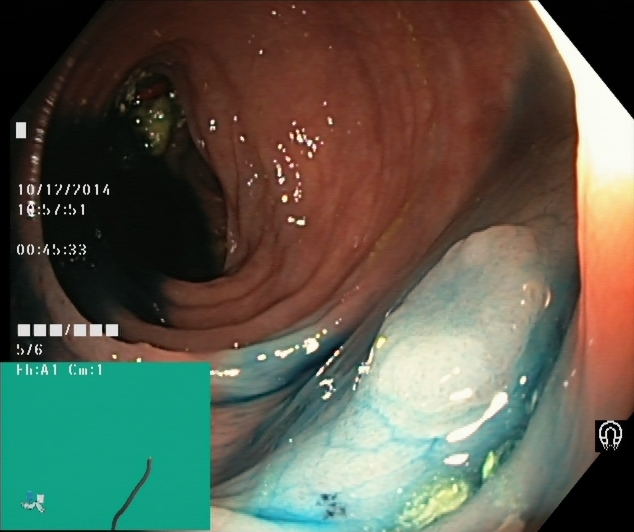Colonoscopy image showing dyed and lifted polyp (pre-resection).